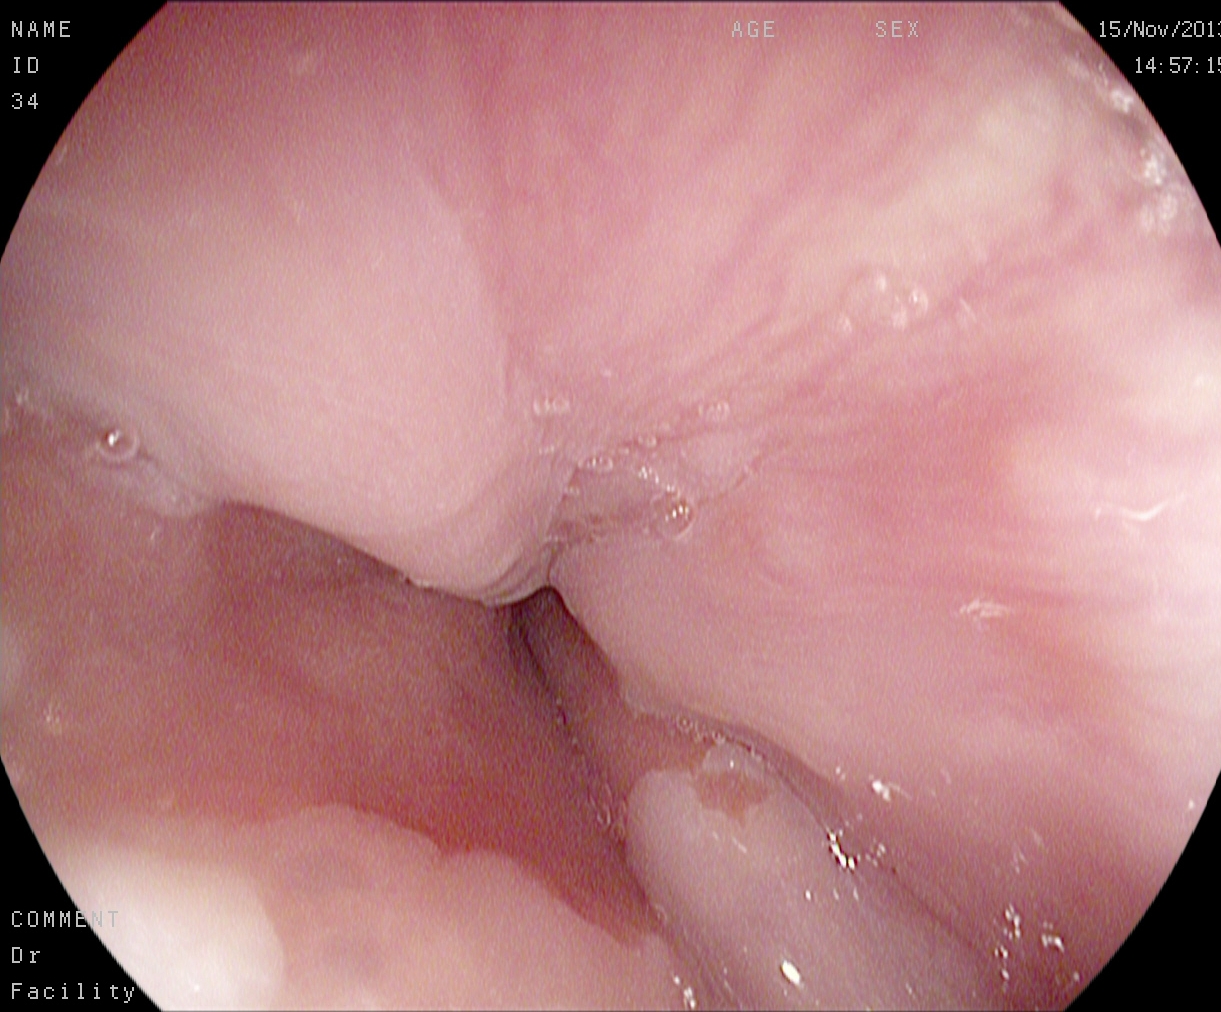modality: EGD
tract: upper GI tract
category: anatomical landmark
finding: Z-line (gastroesophageal junction)